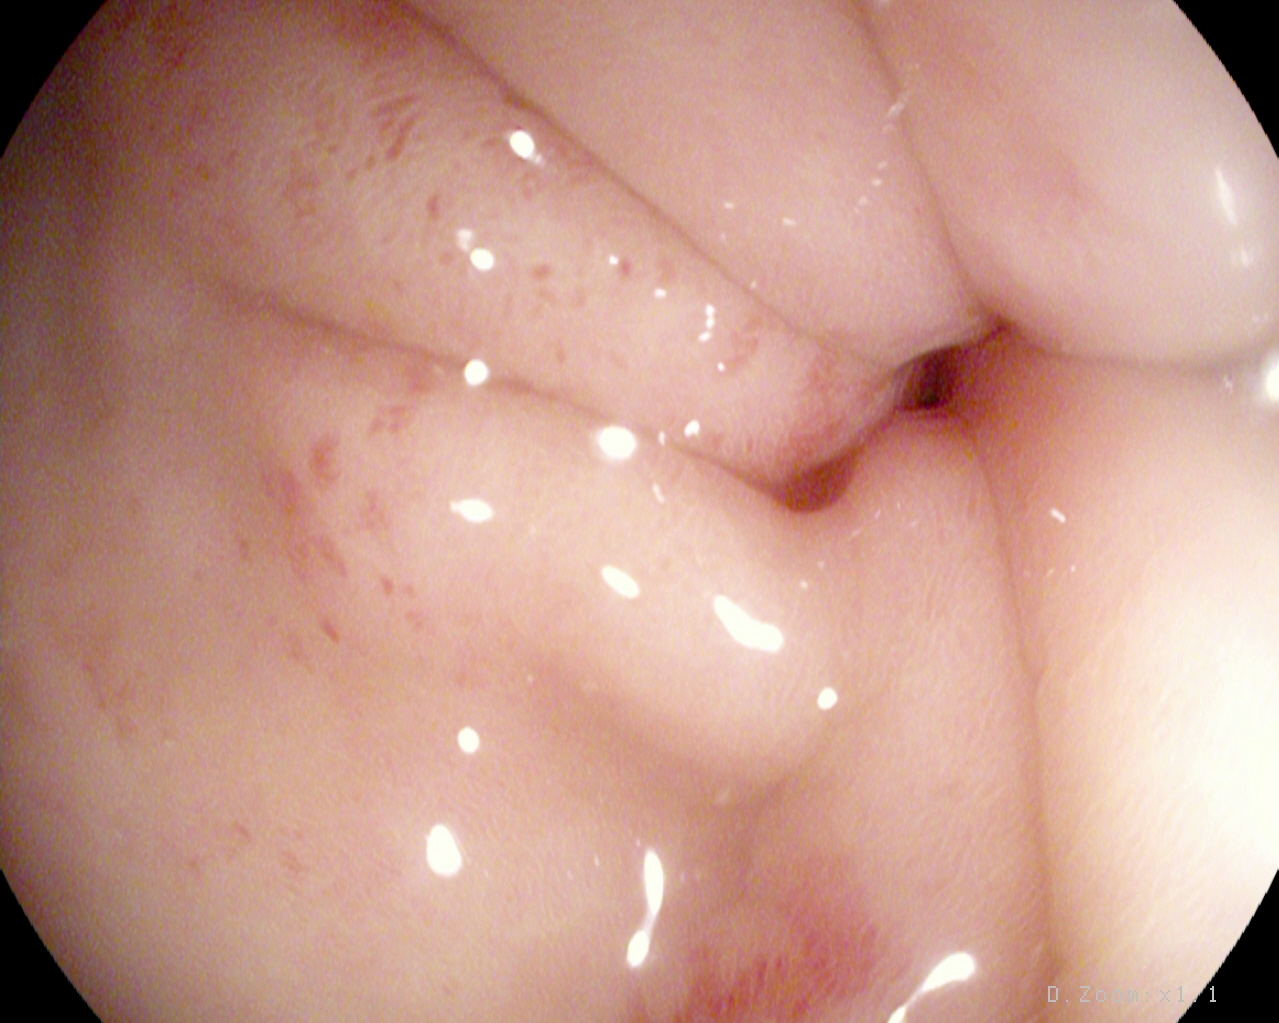Esophagogastroduodenoscopy image showing pylorus.